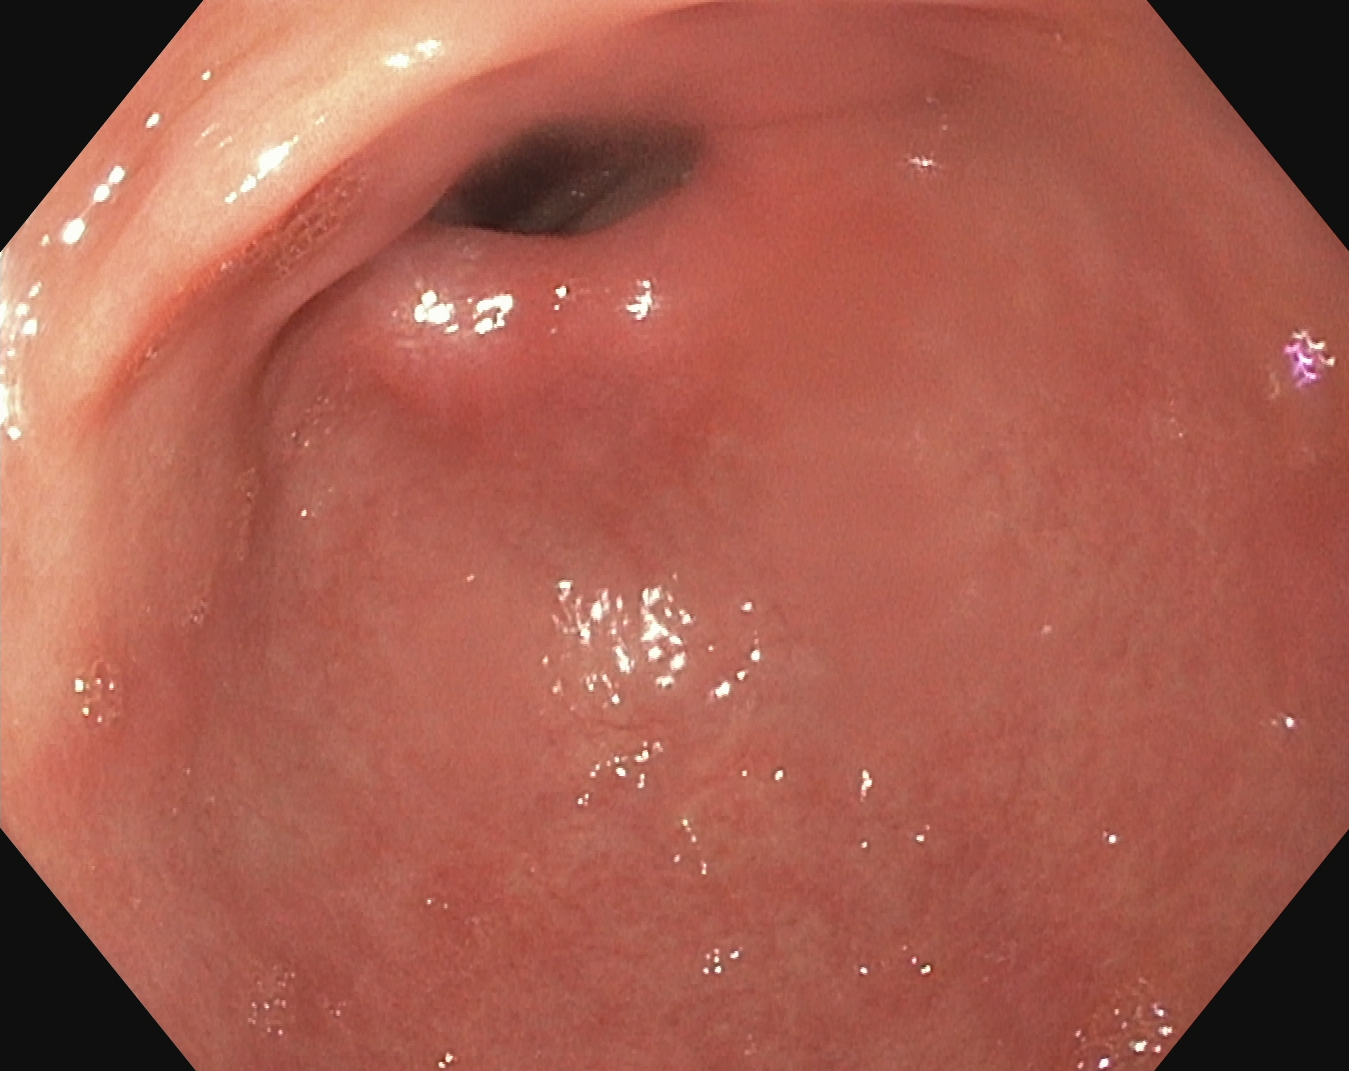PROCEDURE: Gastroscopy.
CATEGORY: Anatomical landmark.
FINDINGS: Pylorus.